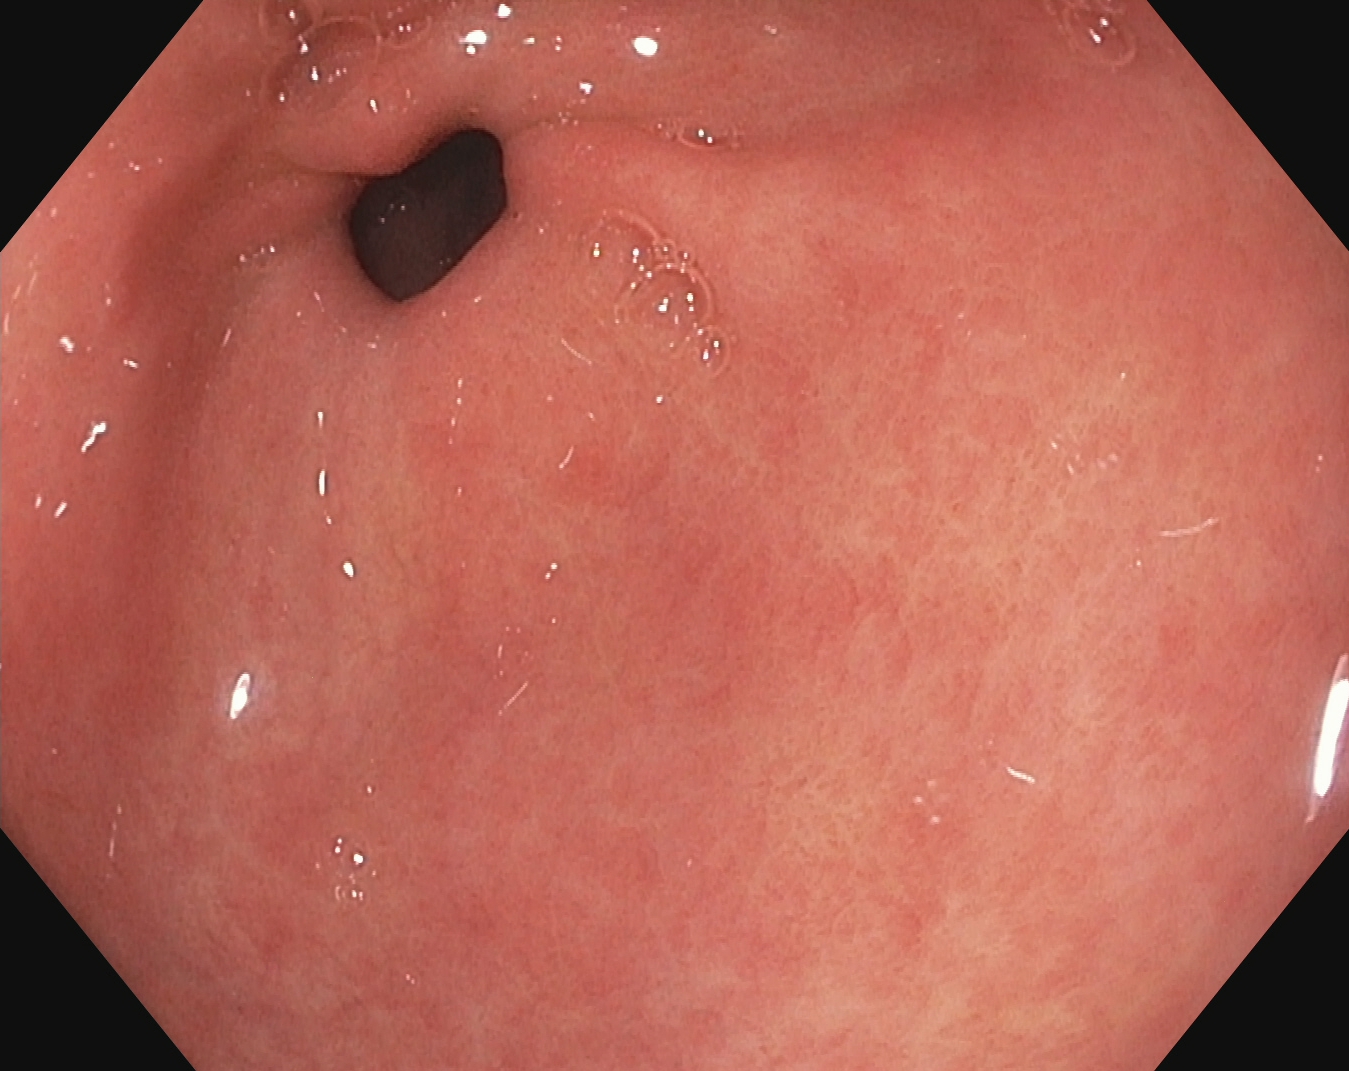Upper-GI endoscopy. Finding: pylorus.